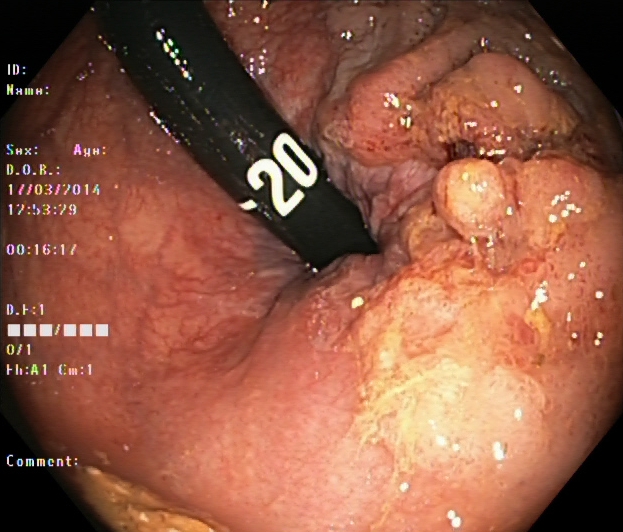Colorectal polyp(s).